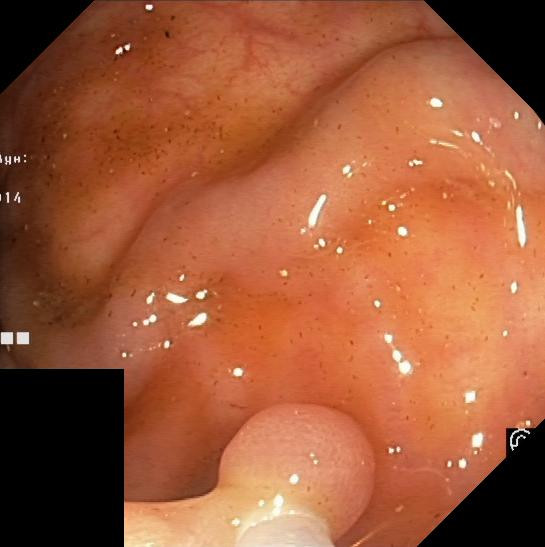This endoscopy frame of the lower GI tract shows colorectal polyp(s).